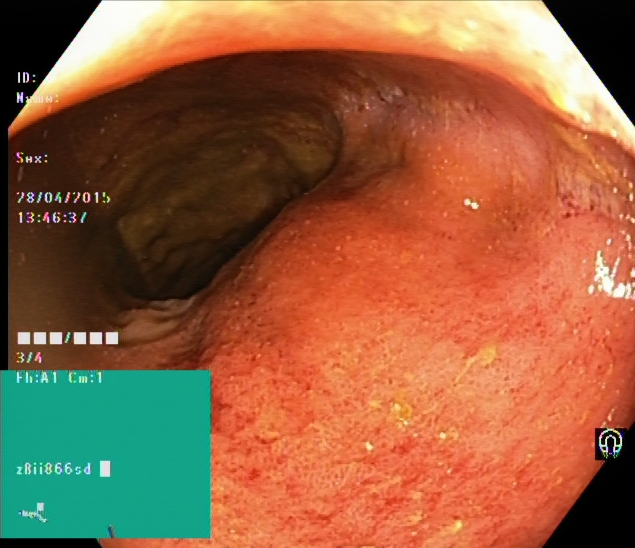{"modality": "colonoscopy", "tract": "lower GI tract", "finding": "ulcerative colitis, Mayo endoscopic subscore 2"}